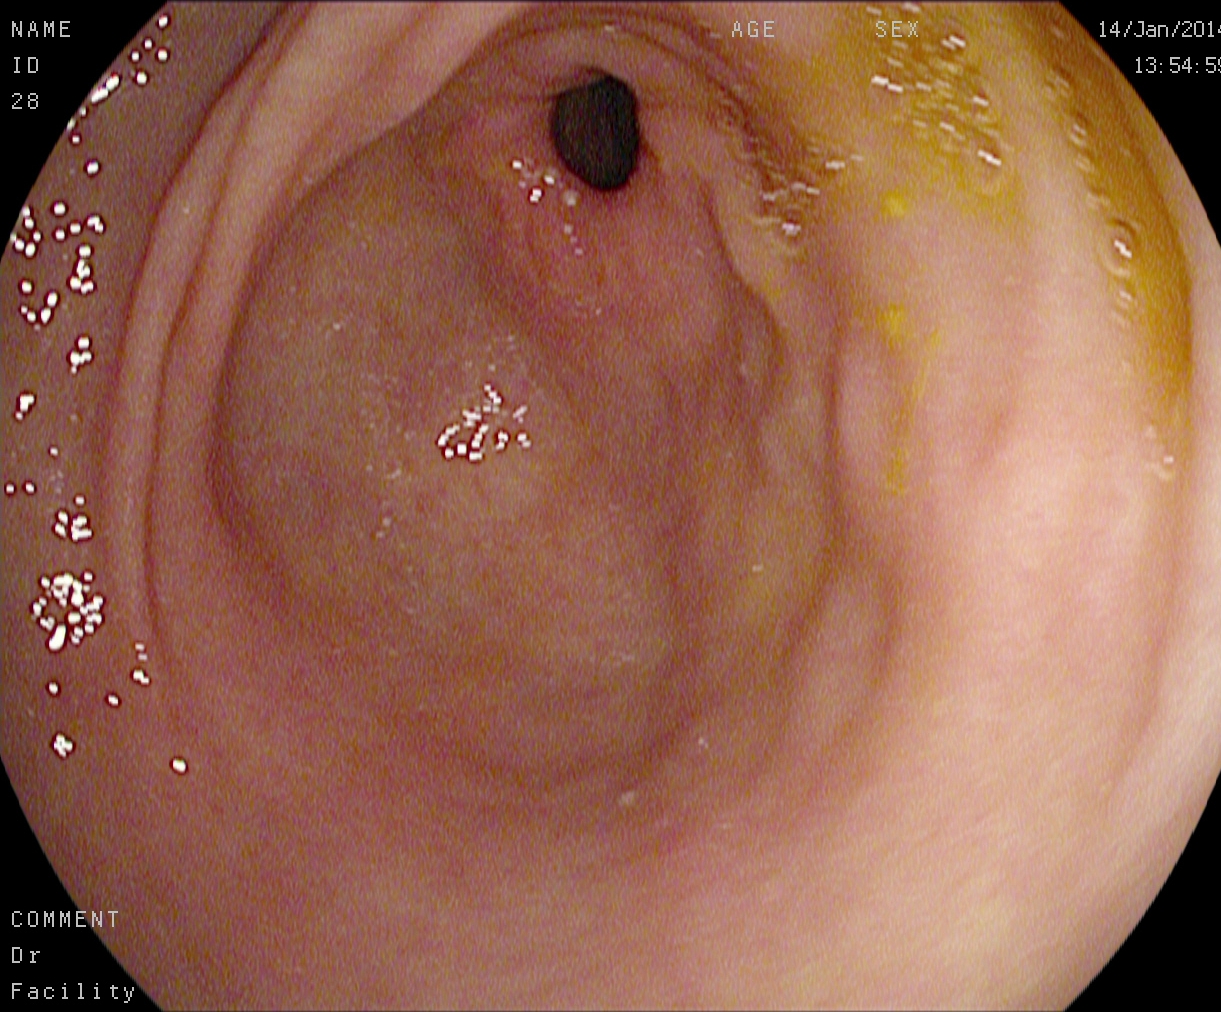{"modality": "gastroscopy", "finding": "pylorus"}